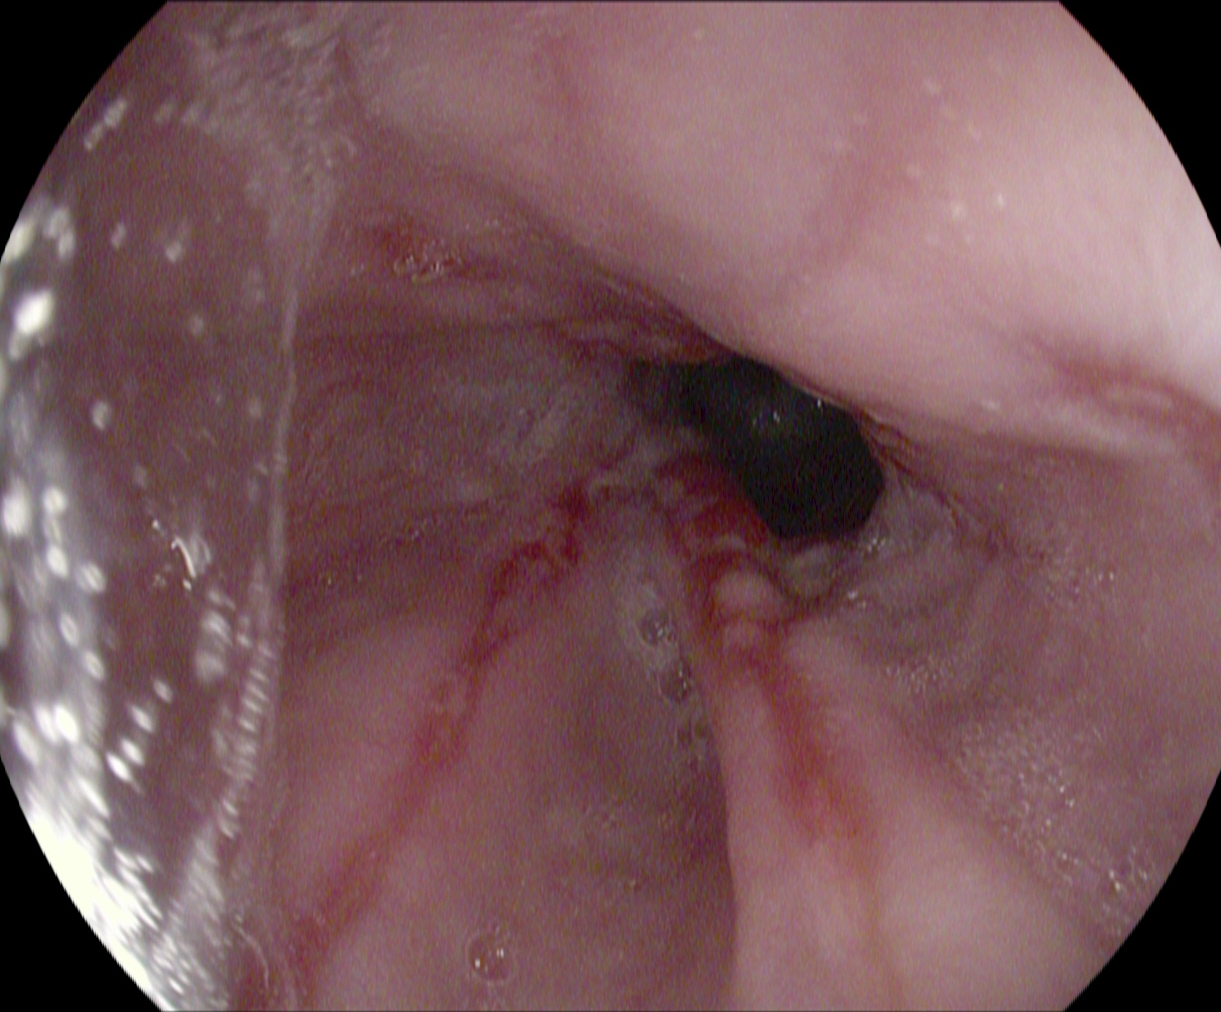Upper-GI endoscopy. Pathological finding. Finding: reflux esophagitis, LA grade B–D.